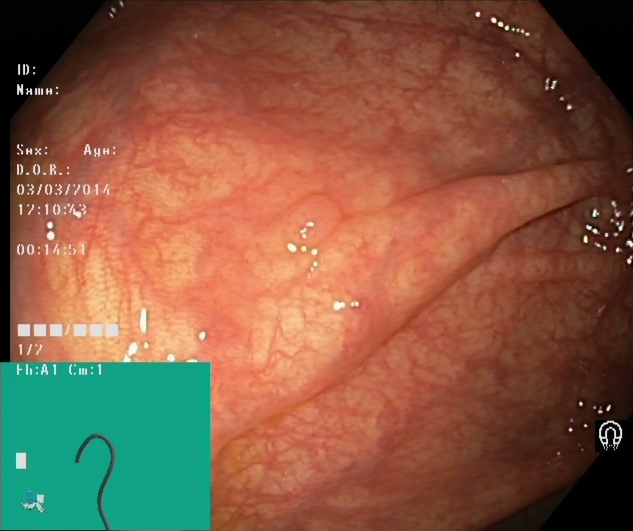{"modality": "colonoscopy", "tract": "lower GI tract", "finding": "colorectal polyp(s)"}